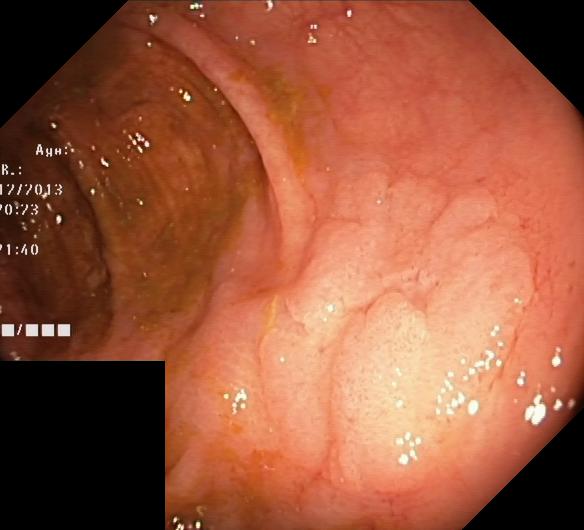{"modality": "lower-GI endoscopy", "tract": "lower GI tract", "category": "pathological finding", "finding": "colorectal polyp(s)"}